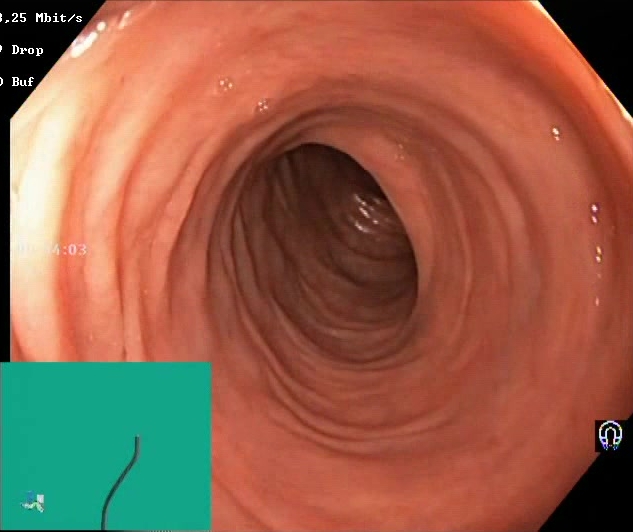Boston Bowel Preparation Scale score 2–3 (adequate preparation).